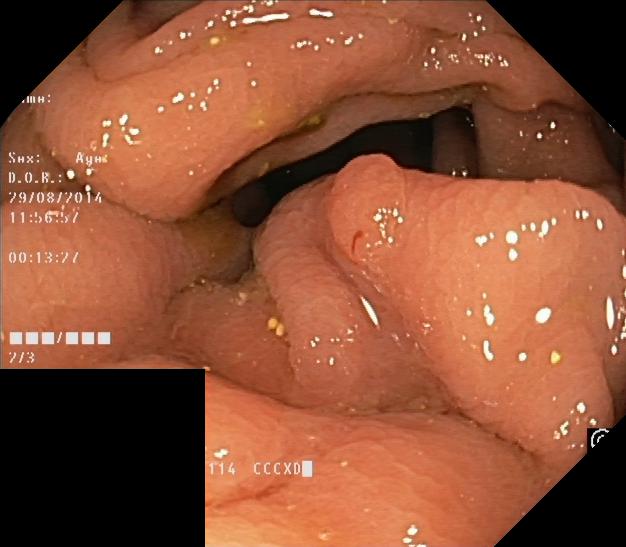modality: lower-GI endoscopy
tract: lower GI tract
finding: colorectal polyp(s)